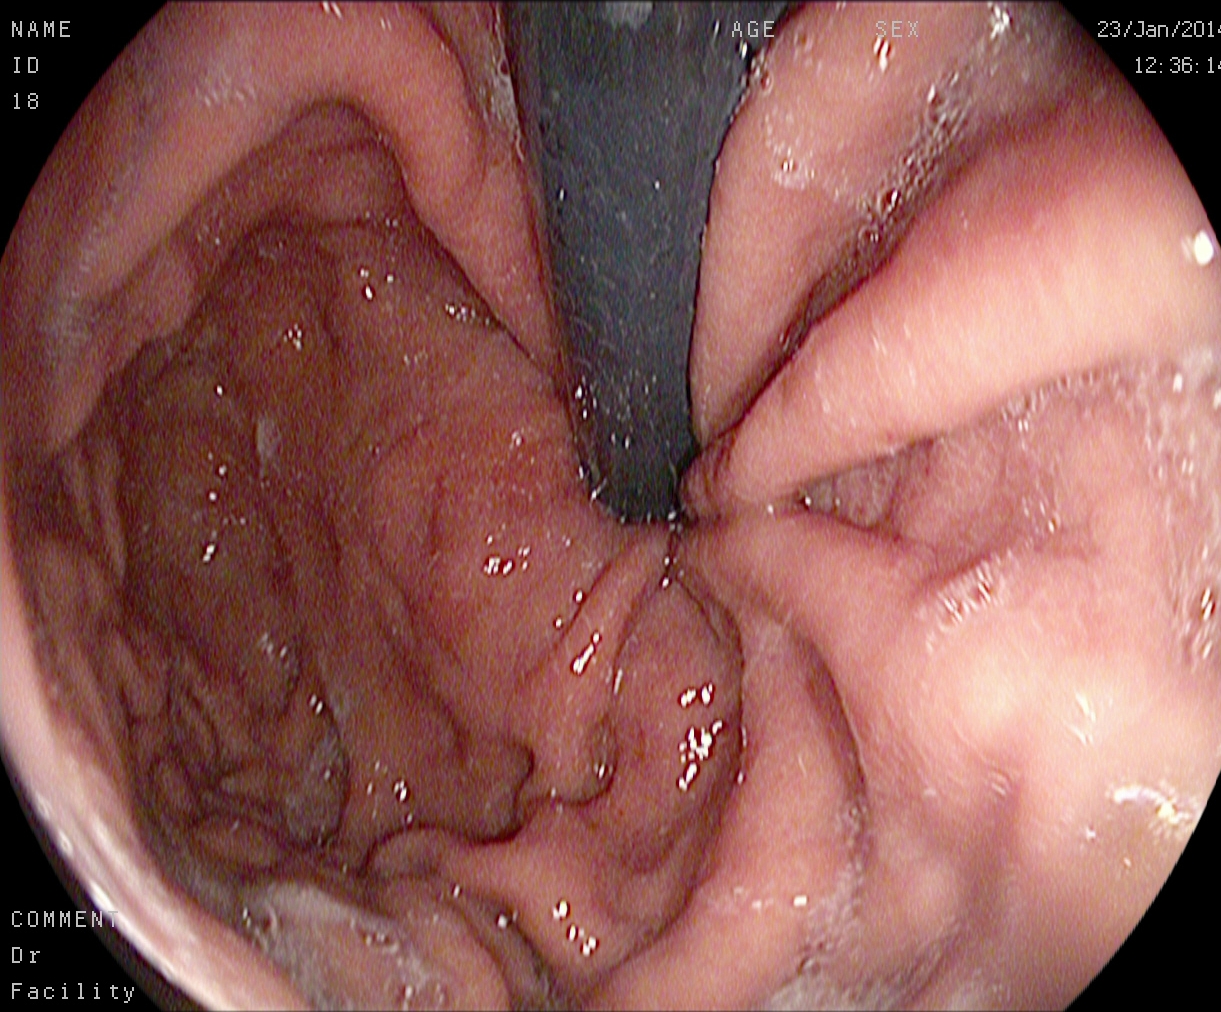modality: gastroscopy
tract: upper GI tract
finding: stomach in retroflexion